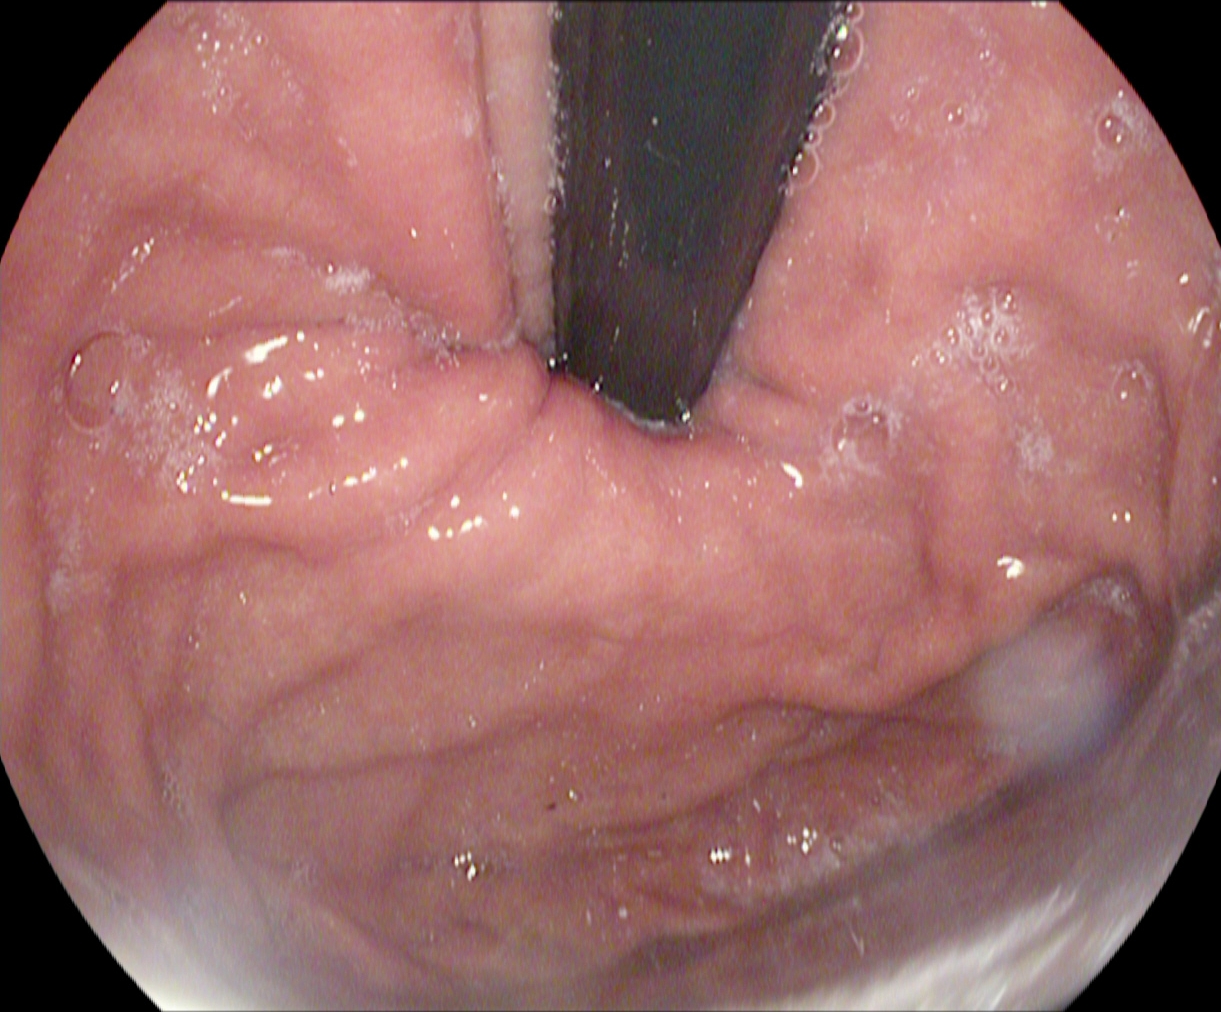modality: gastroscopy
finding: stomach in retroflexion